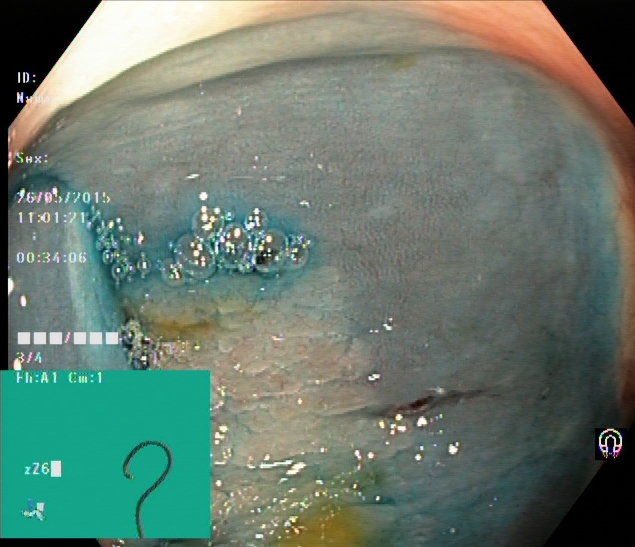This endoscopic image shows dyed and lifted polyp (pre-resection).